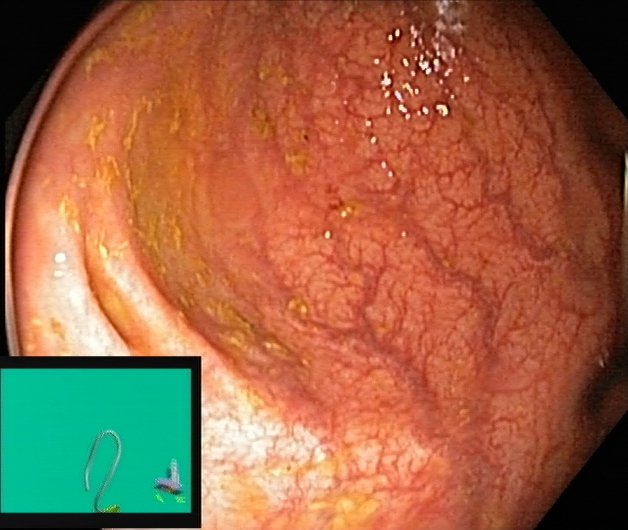{"modality": "lower-GI endoscopy", "tract": "lower GI tract", "category": "anatomical landmark", "finding": "cecum"}